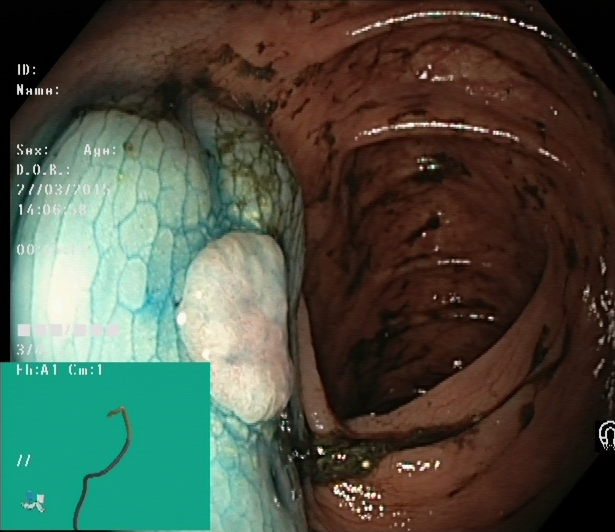Lower gastrointestinal endoscopy. Tract: lower GI tract. Finding: dyed and lifted polyp (pre-resection).